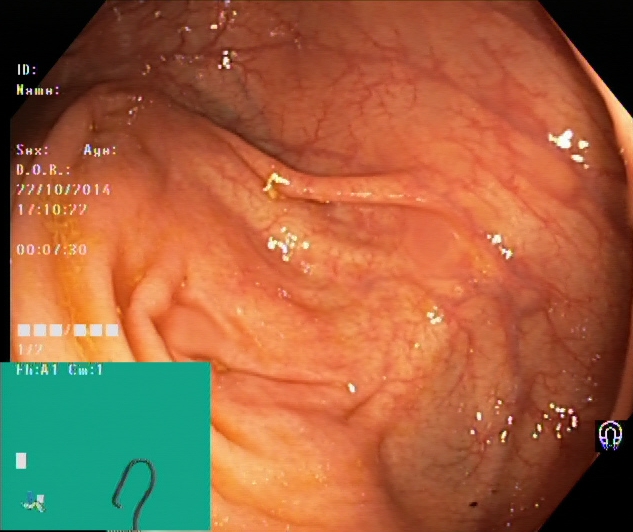modality: colonoscopy; tract: lower GI tract; finding: cecum